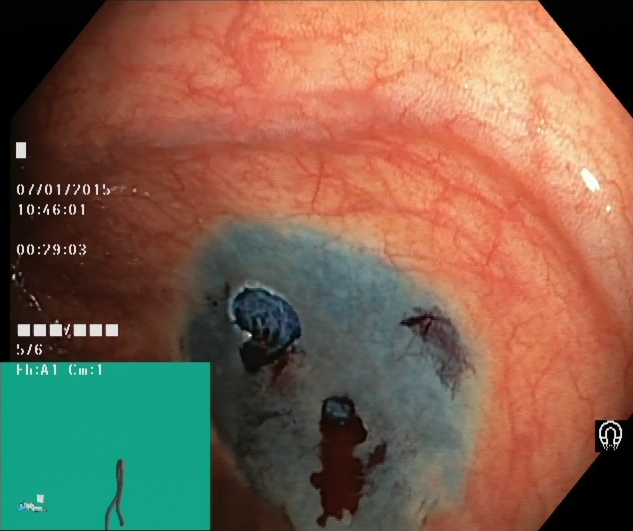Colonoscopy. Tract: lower GI tract. Finding: dyed resection margins (post-polypectomy).